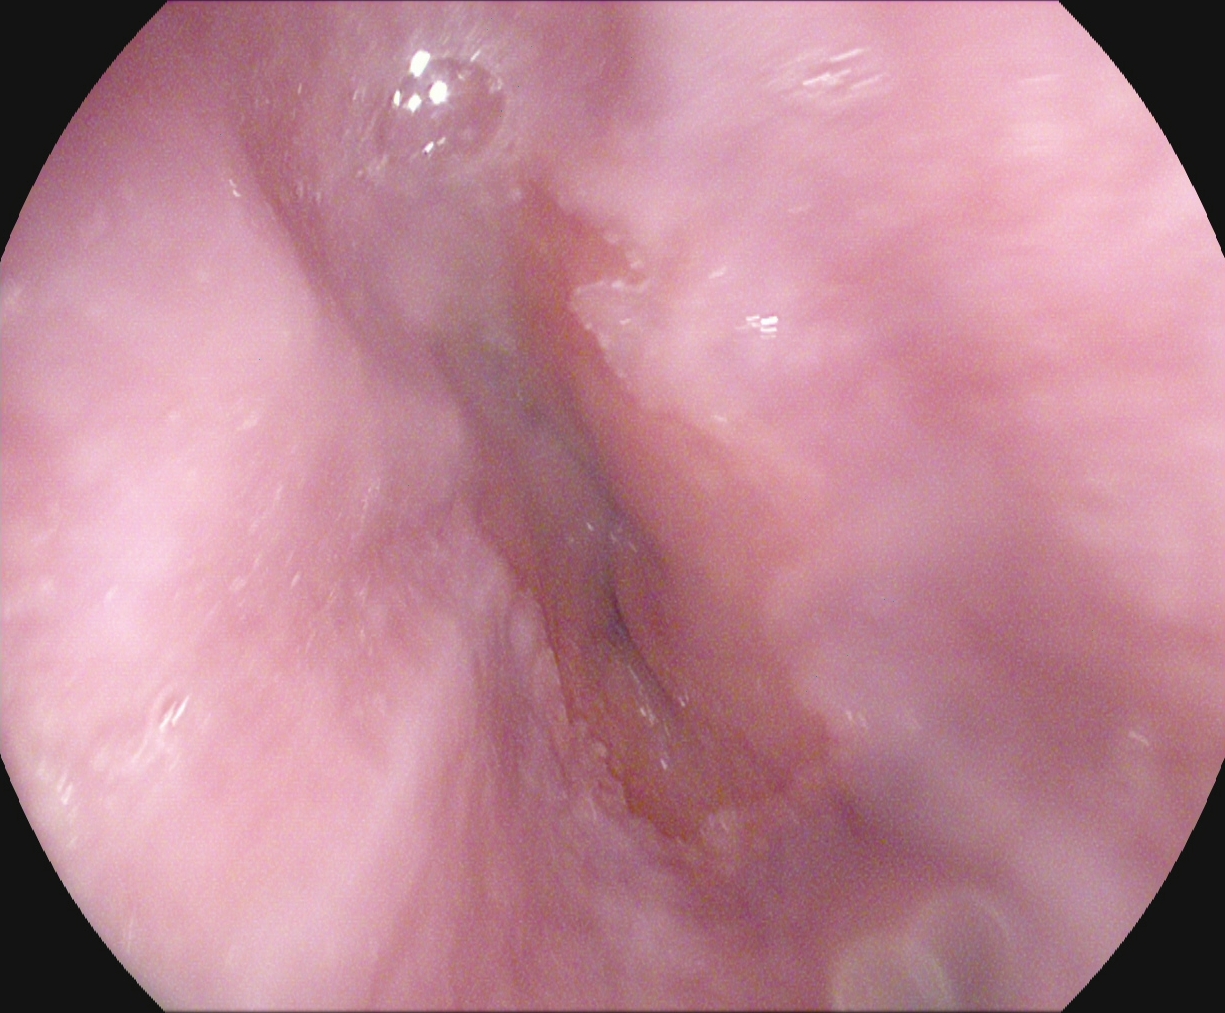This endoscopy frame of the upper GI tract shows Z-line (gastroesophageal junction).